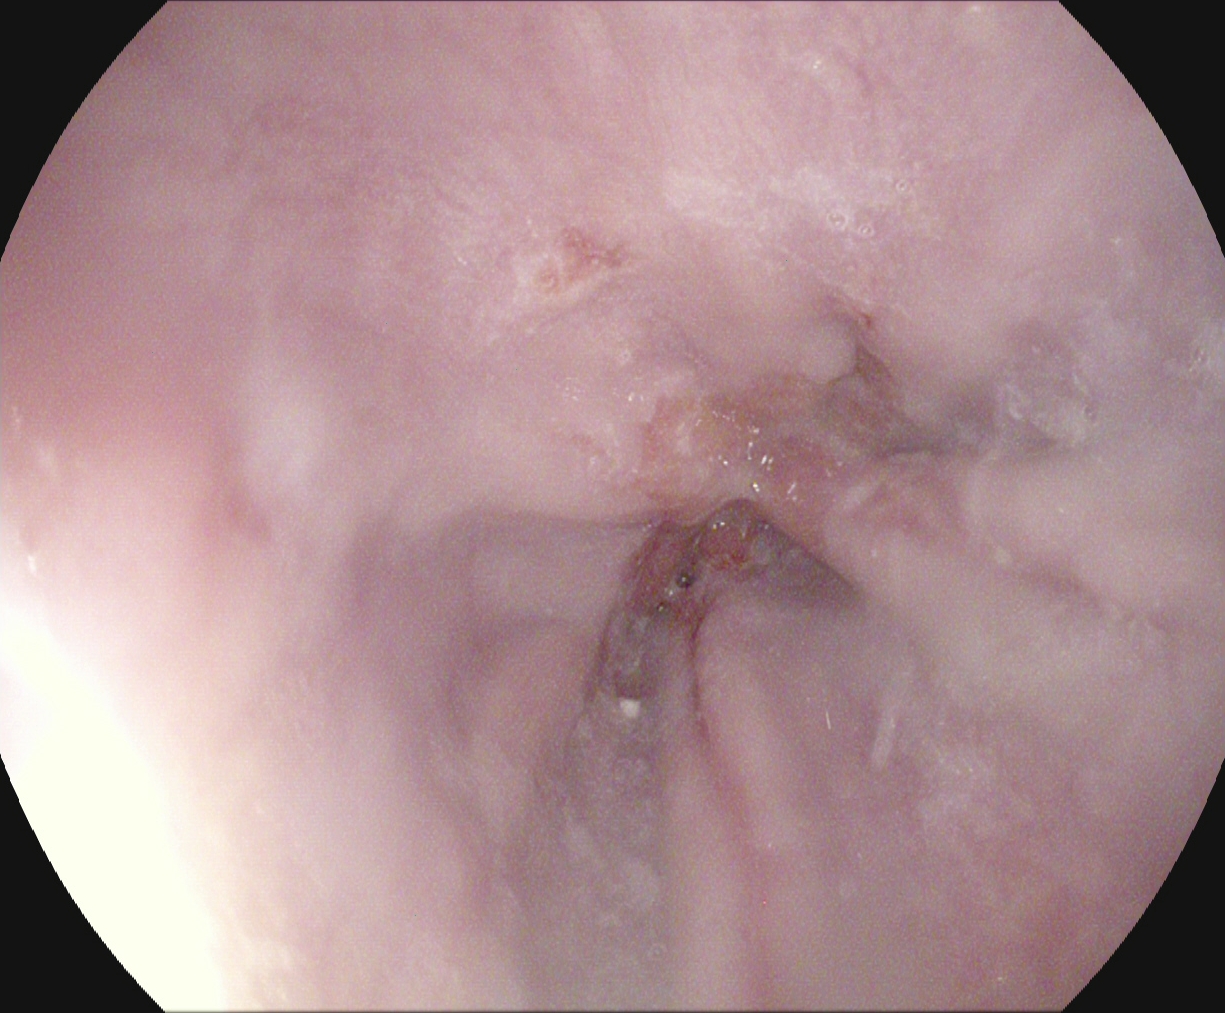EGD. Tract: upper GI tract. Finding: Z-line (gastroesophageal junction).